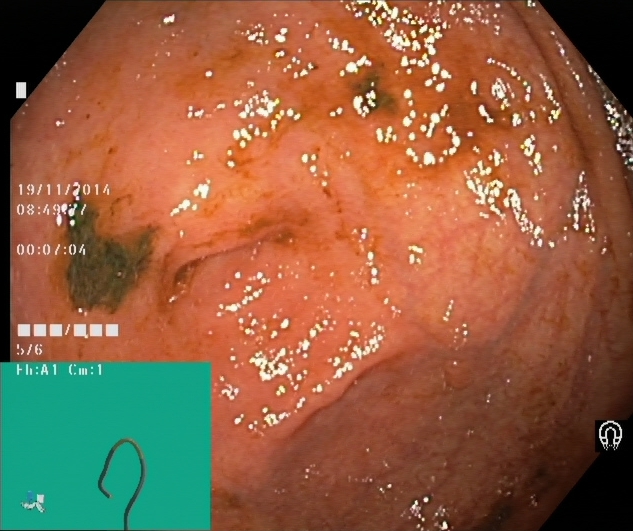Lower gastrointestinal endoscopy. Finding: cecum.